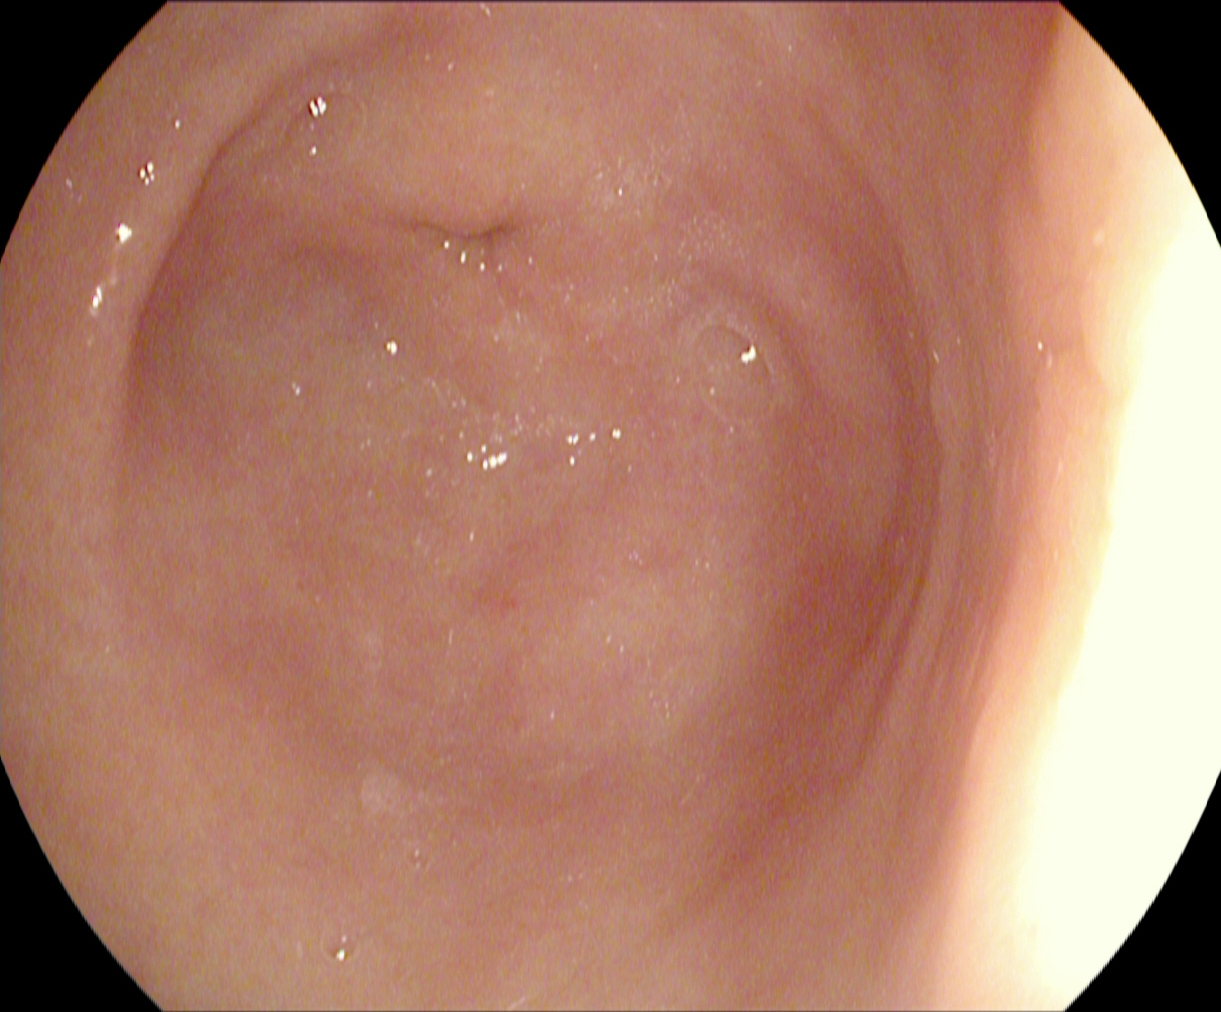Gastroscopy. Tract: upper GI tract. Anatomical landmark. Finding: pylorus.